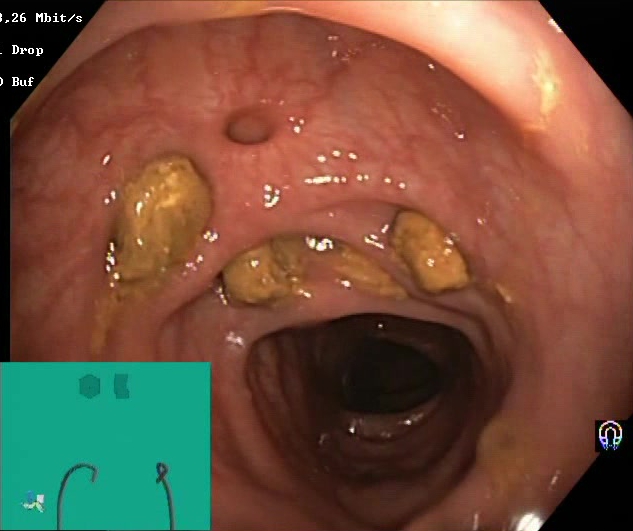PROCEDURE: Lower-GI endoscopy.
FINDINGS: Impacted stool.